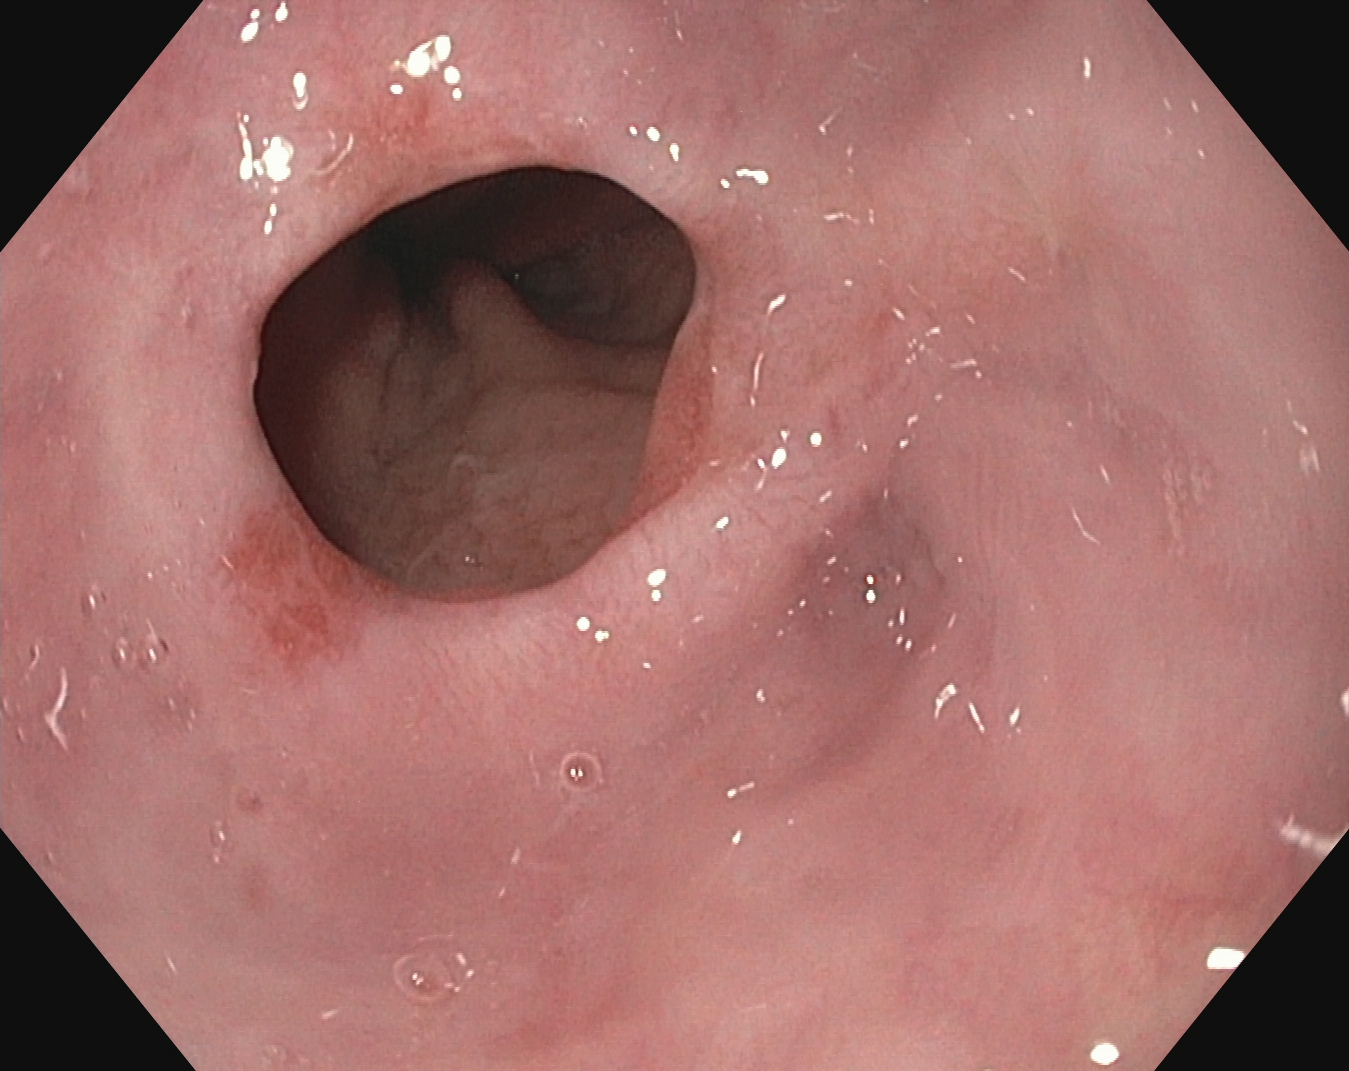Gastroscopy. Finding: reflux esophagitis, Los Angeles grade A.